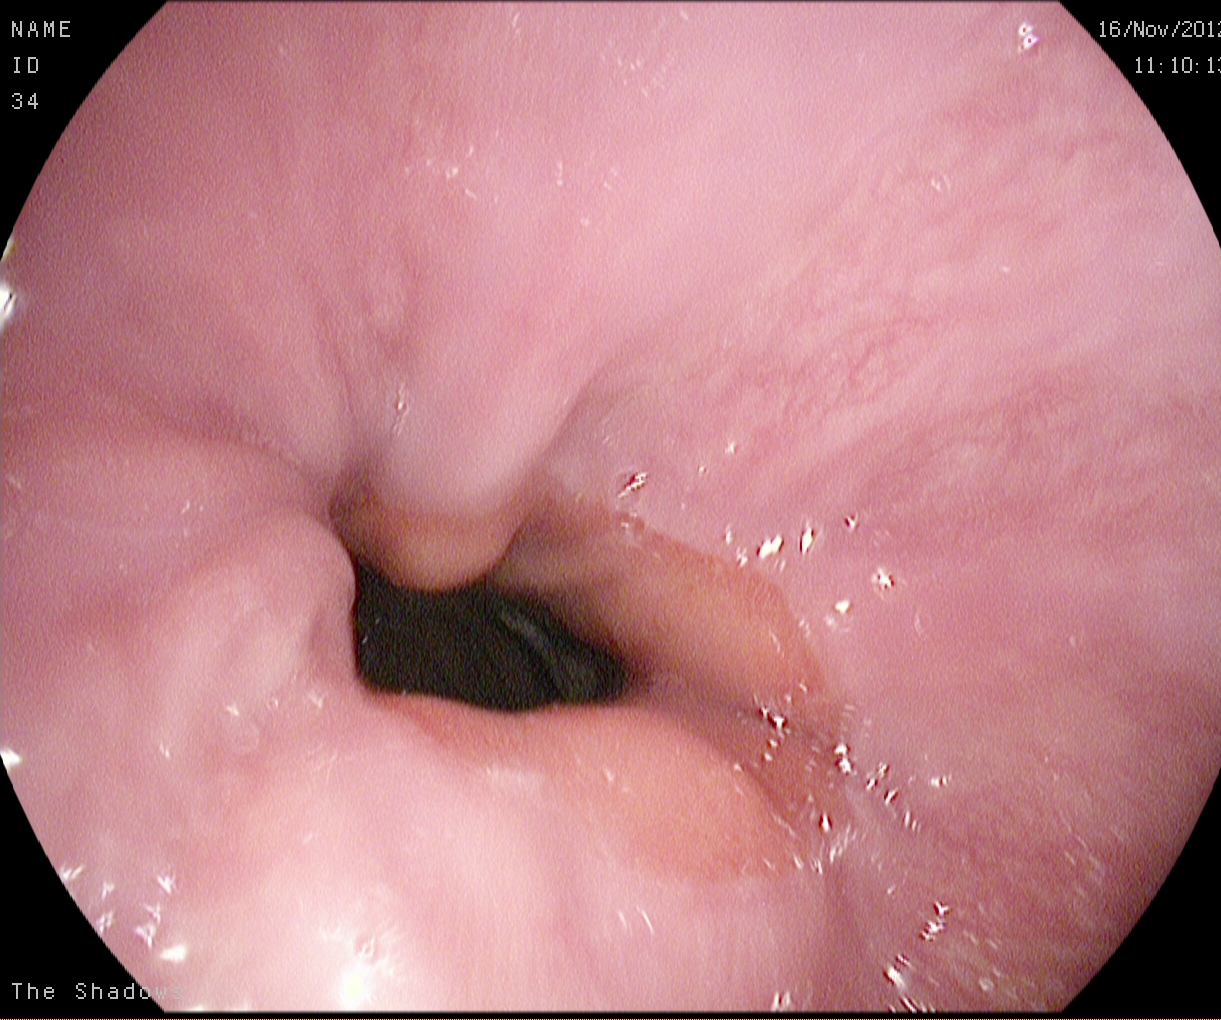Gastrointestinal endoscopy image of the upper GI tract showing Z-line (gastroesophageal junction).